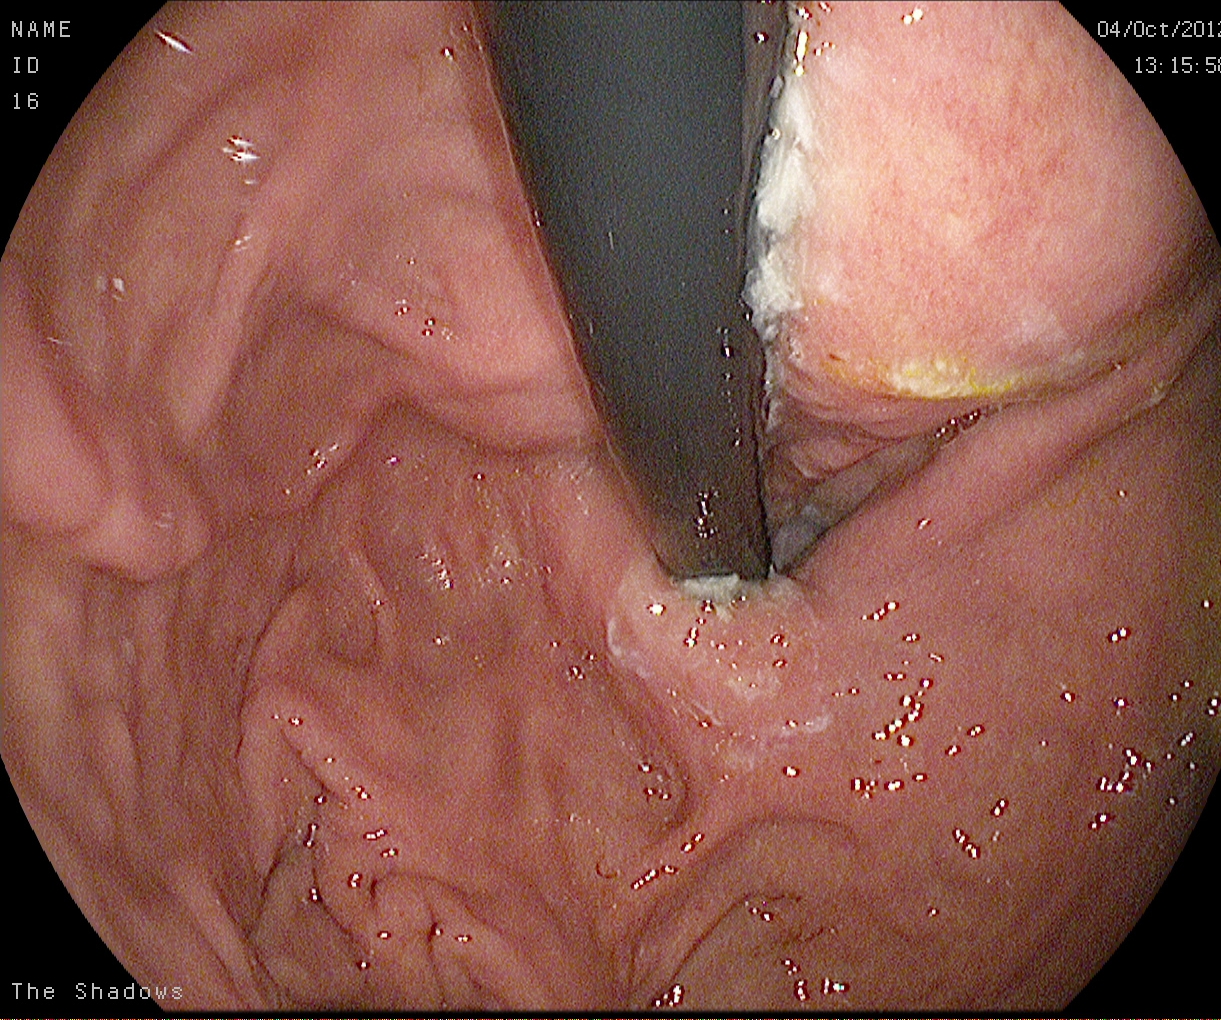Stomach in retroflexion.